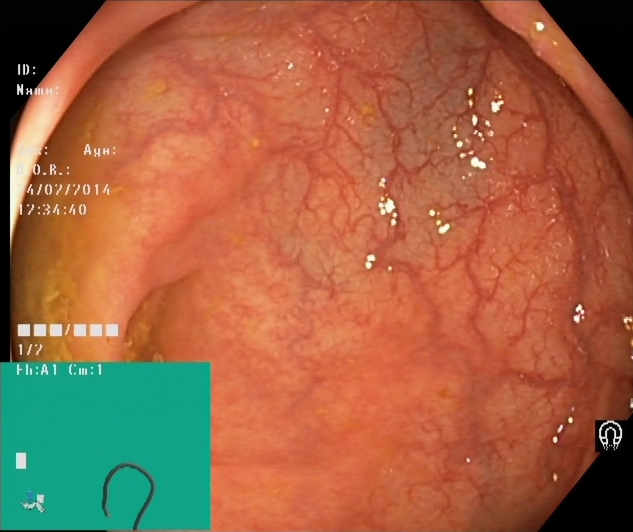Cecum.